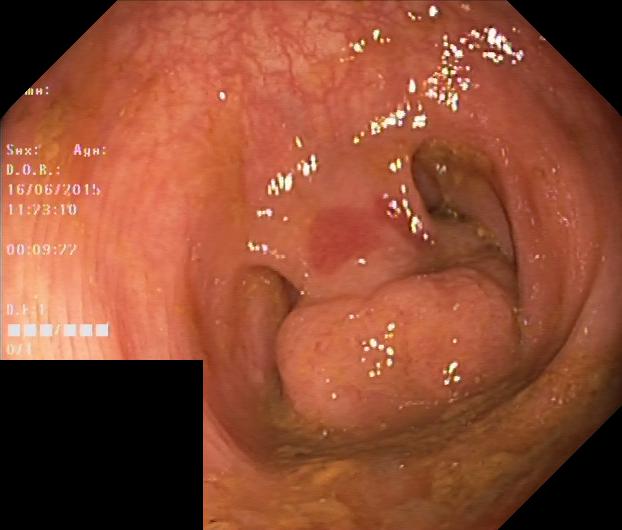Colorectal polyp(s).